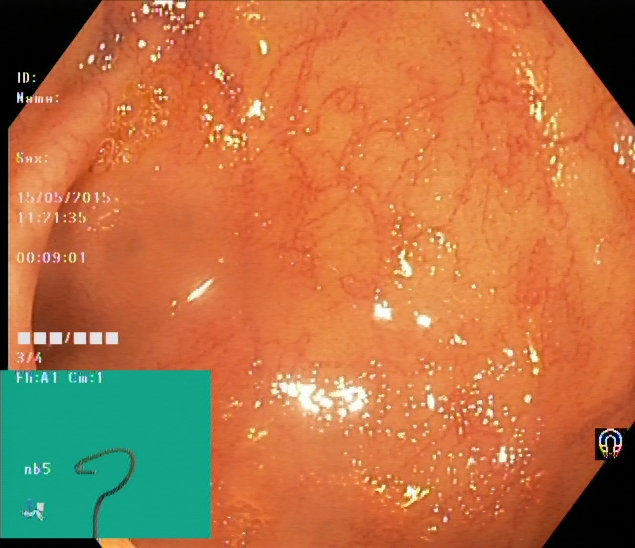Endoscopic image of the lower GI tract showing cecum.